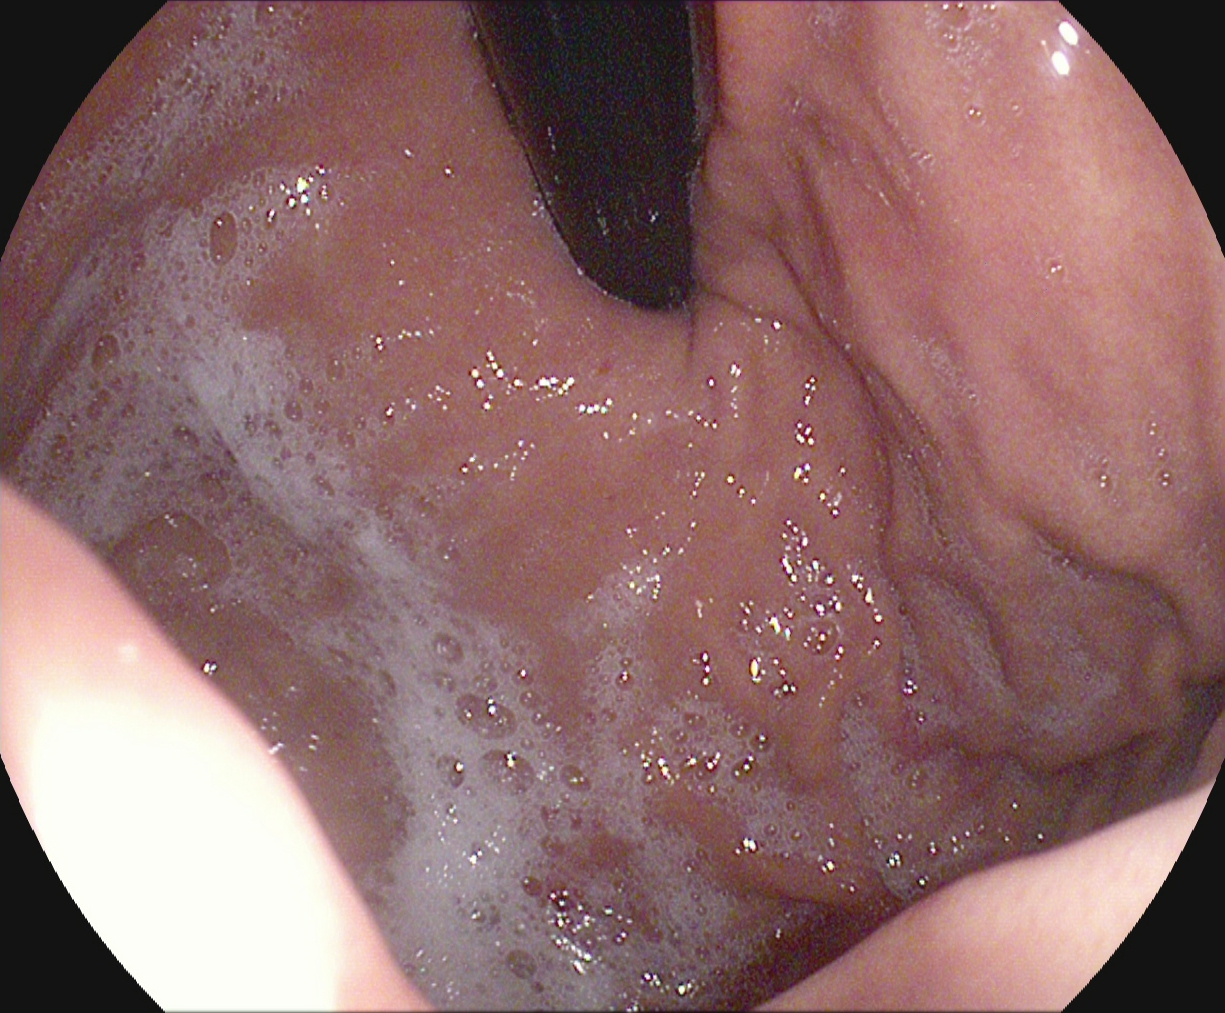modality: esophagogastroduodenoscopy | tract: upper GI tract | category: anatomical landmark | finding: stomach in retroflexion